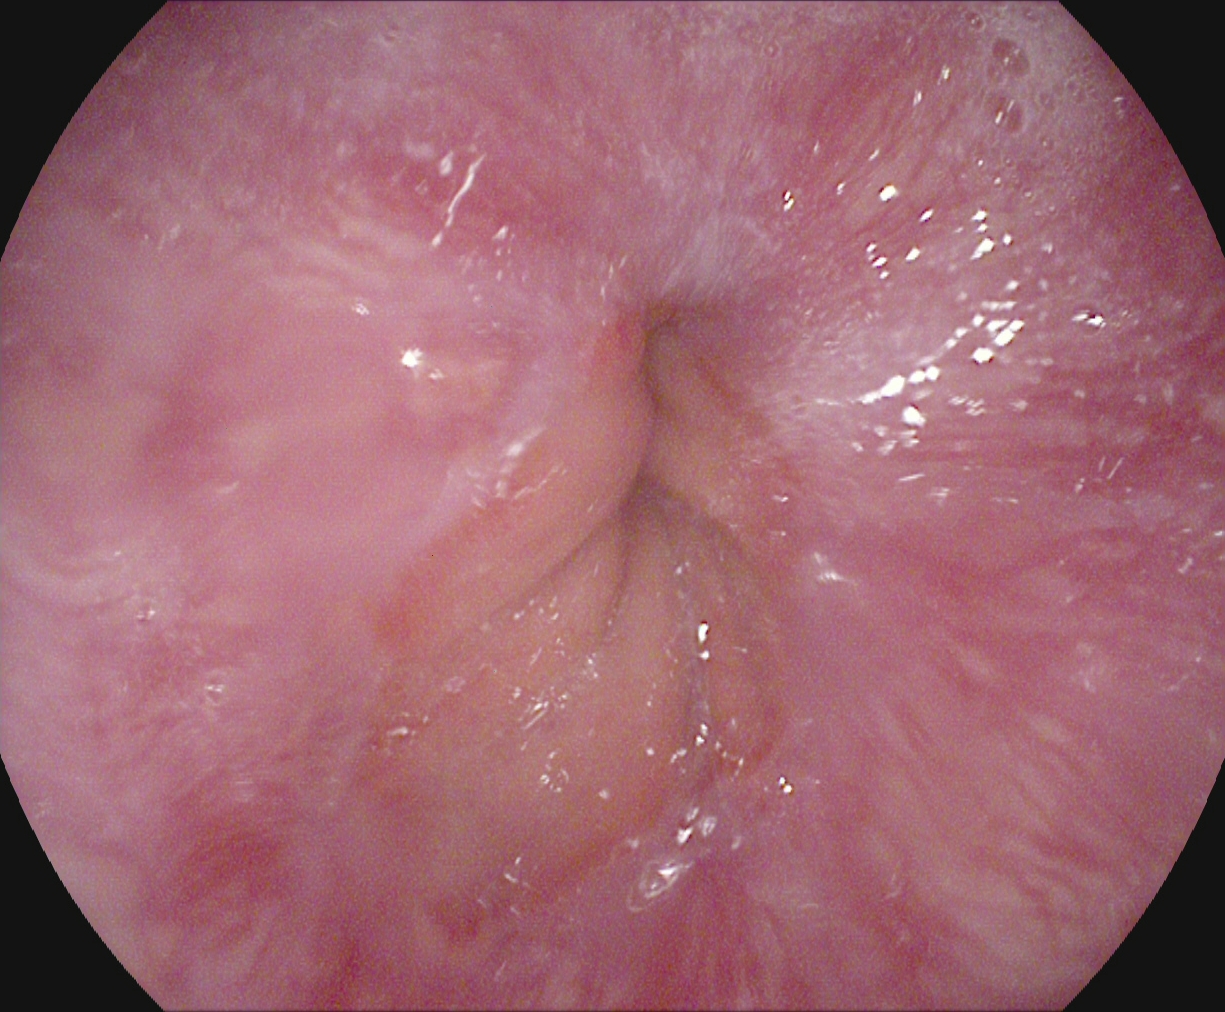This endoscopic image of the upper GI tract shows Z-line (gastroesophageal junction).